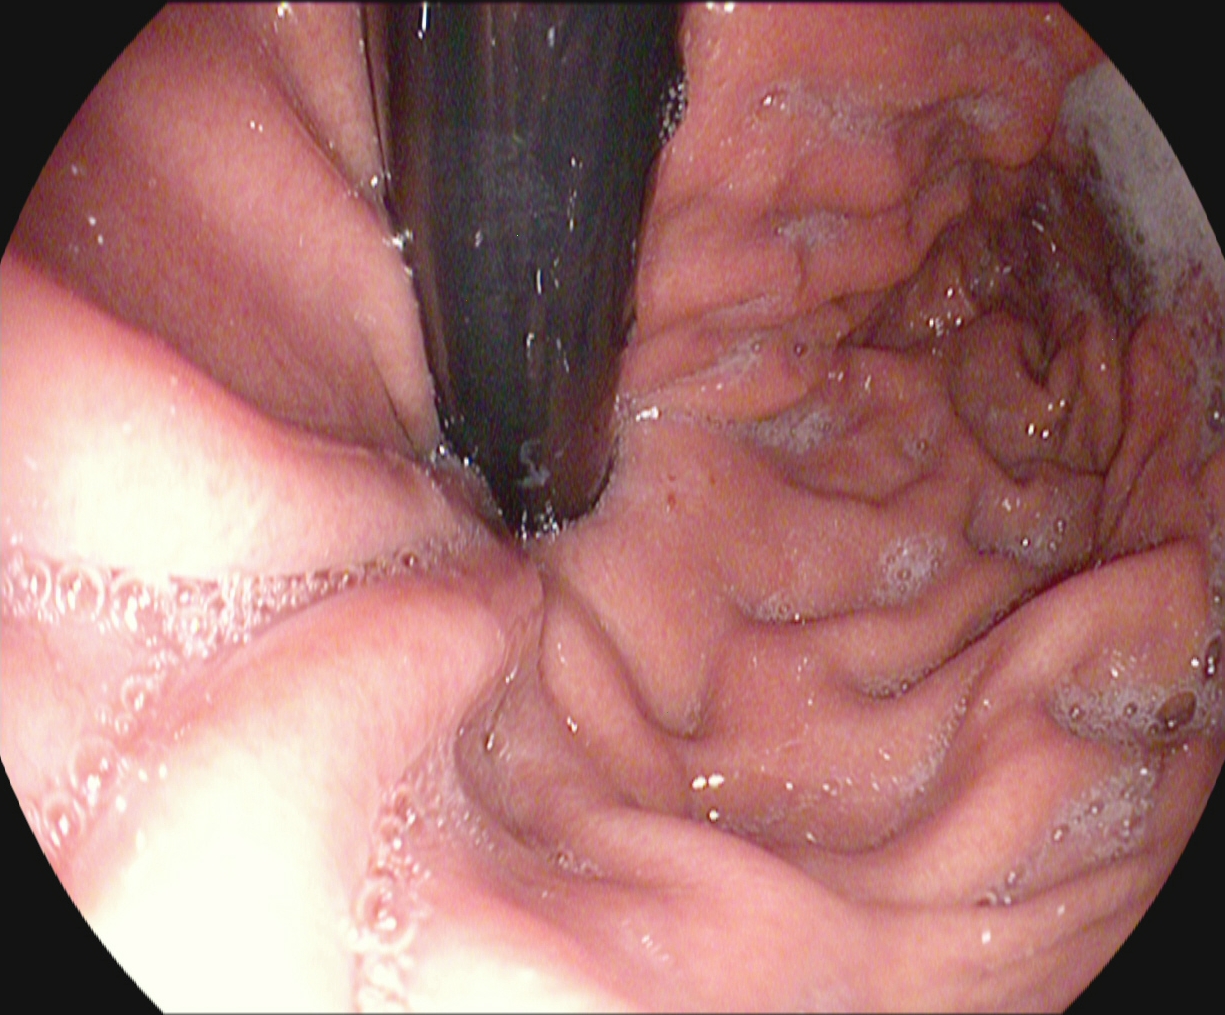stomach in retroflexion.